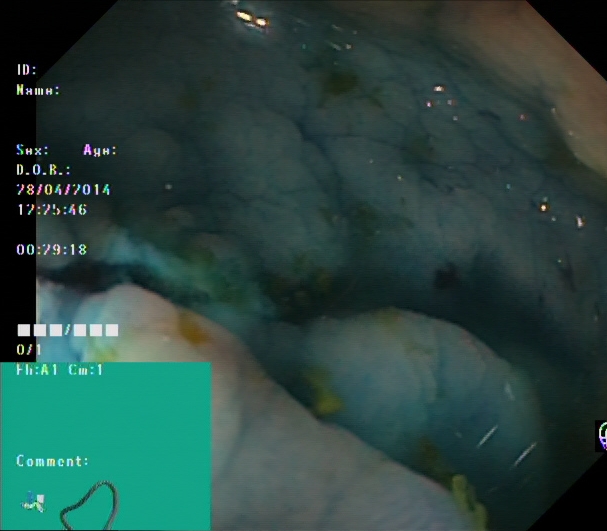This endoscopic image of the lower GI tract shows dyed and lifted polyp (pre-resection).